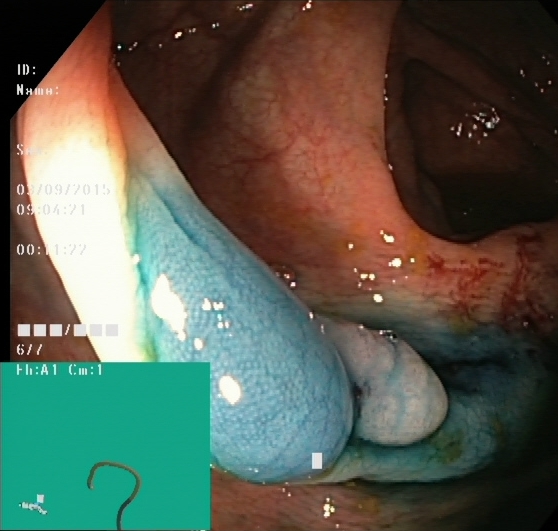{"modality": "colonoscopy", "finding": "dyed and lifted polyp (pre-resection)"}